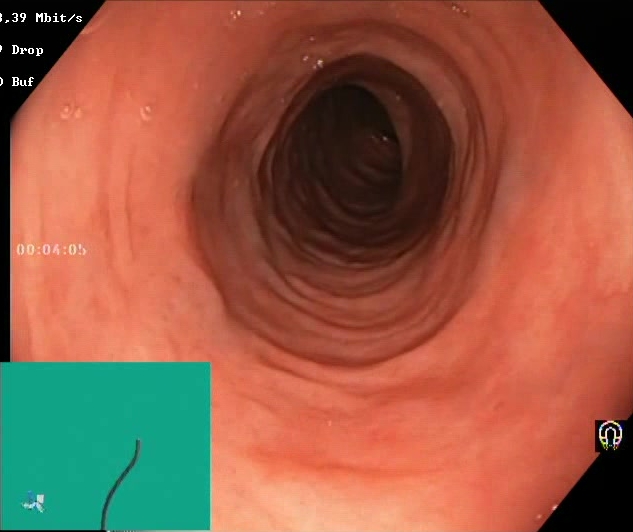{"modality": "colonoscopy", "finding": "Boston Bowel Preparation Scale score 2\u20133 (adequate preparation)"}